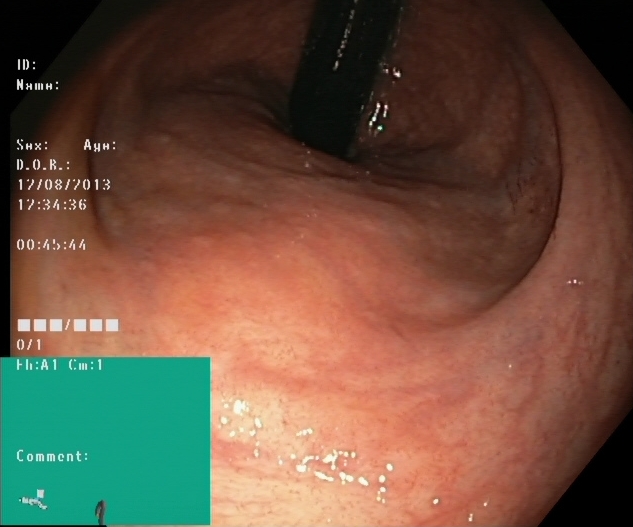This endoscopy frame of the lower GI tract shows rectum in retroflexion.